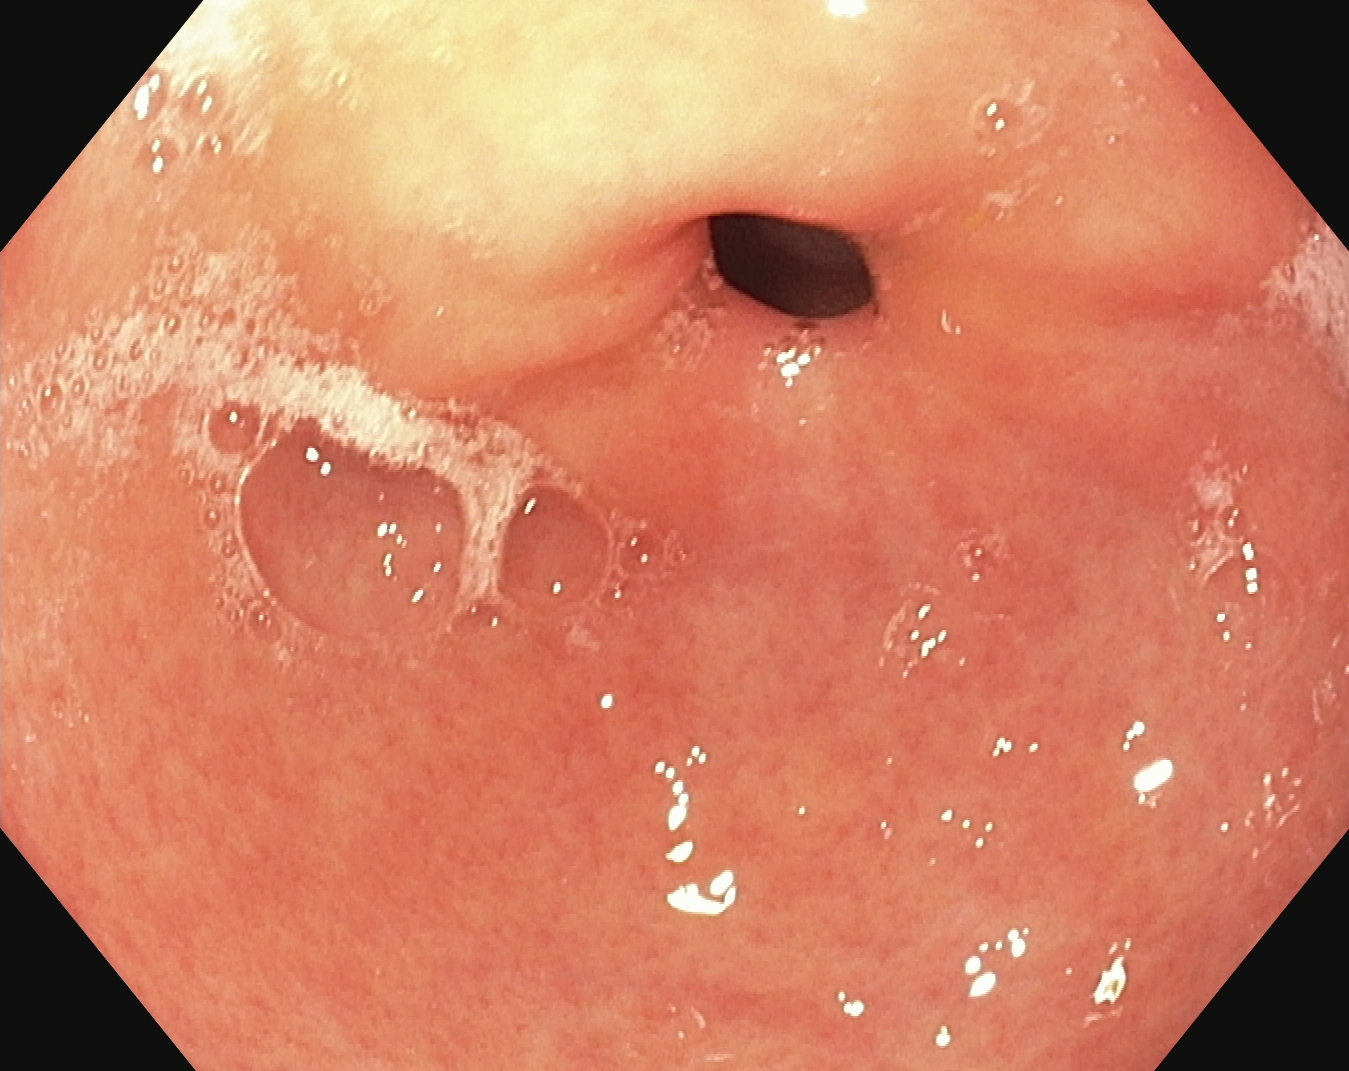{"modality": "esophagogastroduodenoscopy", "tract": "upper GI tract", "category": "anatomical landmark", "finding": "pylorus"}